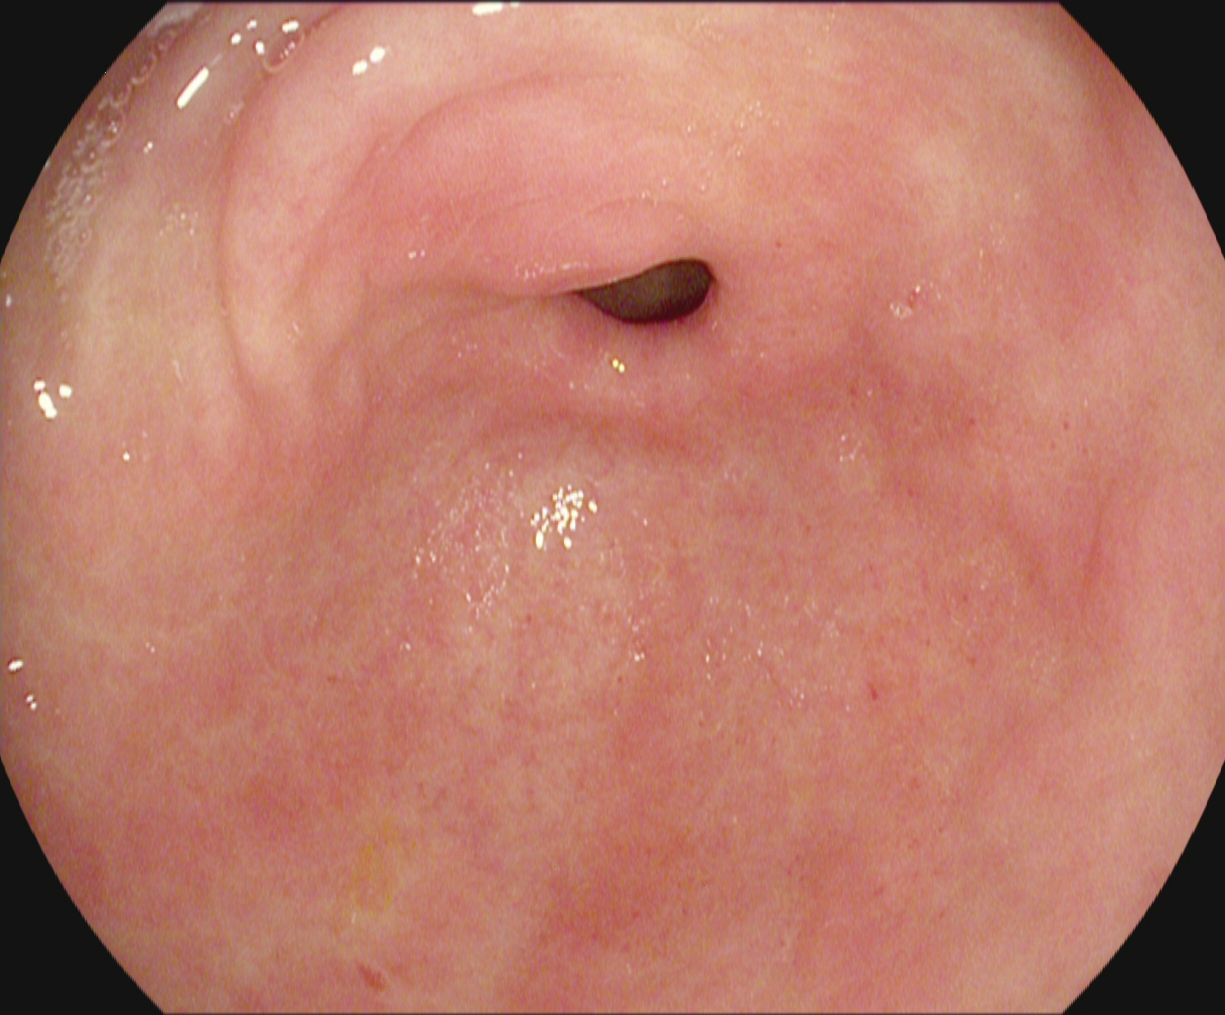Upper-GI endoscopy. Finding: pylorus.